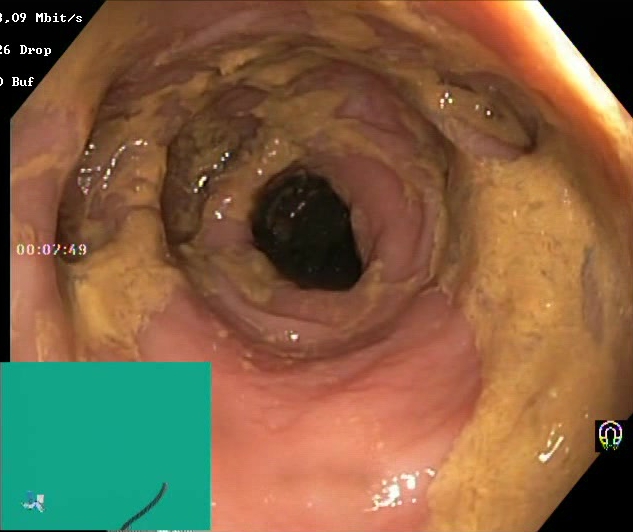Boston Bowel Preparation Scale score 0–1 (inadequate preparation).